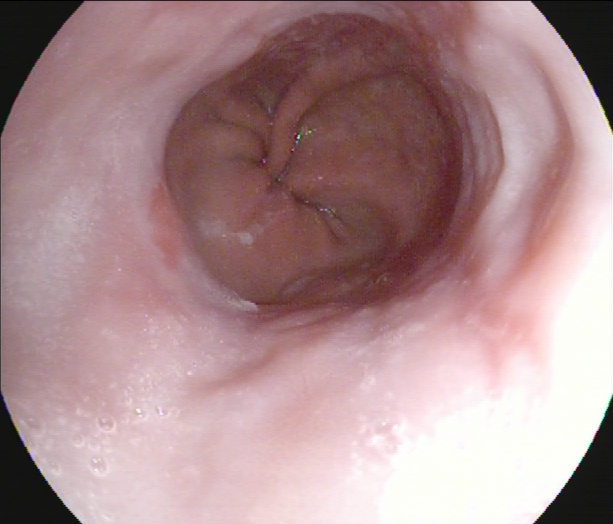PROCEDURE: Upper-GI endoscopy.
FINDINGS: Z-line (gastroesophageal junction).